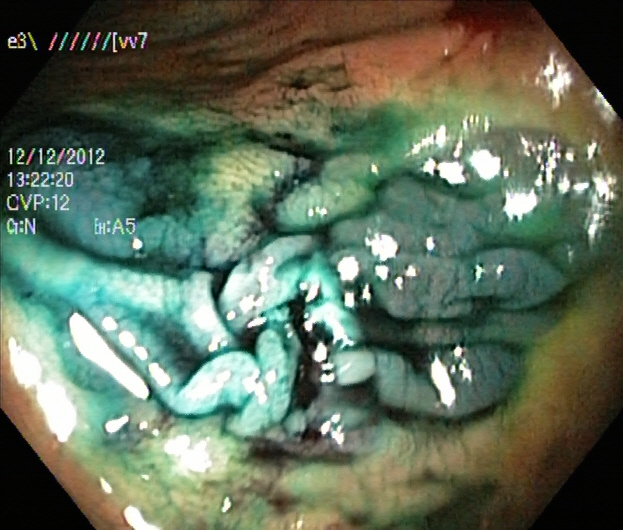PROCEDURE: Colonoscopy.
CATEGORY: Therapeutic intervention.
FINDINGS: Dyed resection margins (post-polypectomy).